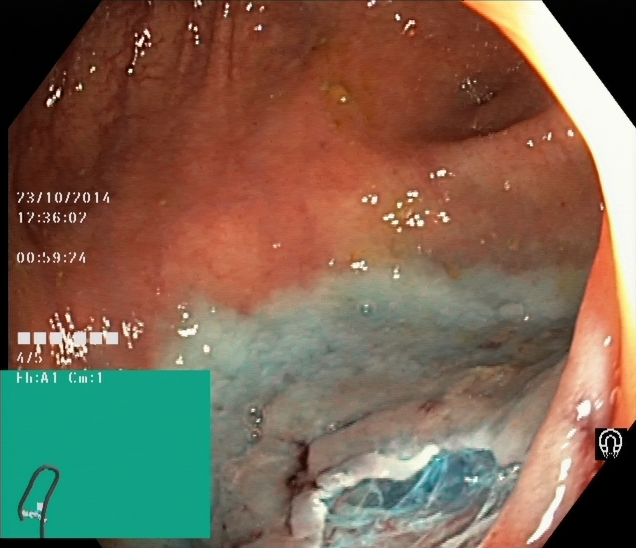PROCEDURE: Lower gastrointestinal endoscopy.
CATEGORY: Therapeutic intervention.
FINDINGS: Dyed resection margins (post-polypectomy).